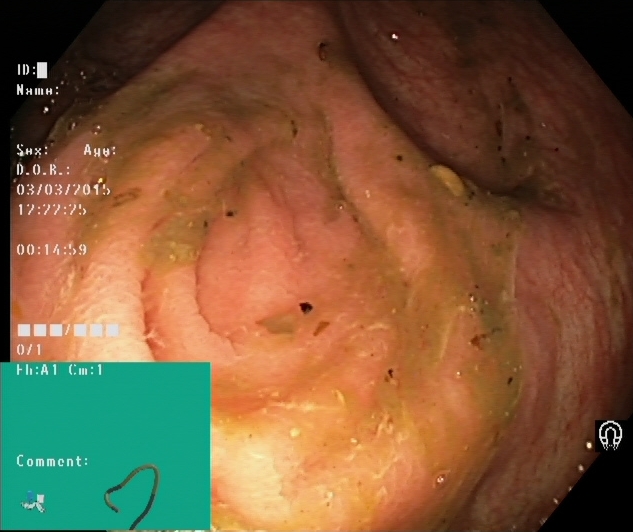PROCEDURE: Colonoscopy.
FINDINGS: Cecum.